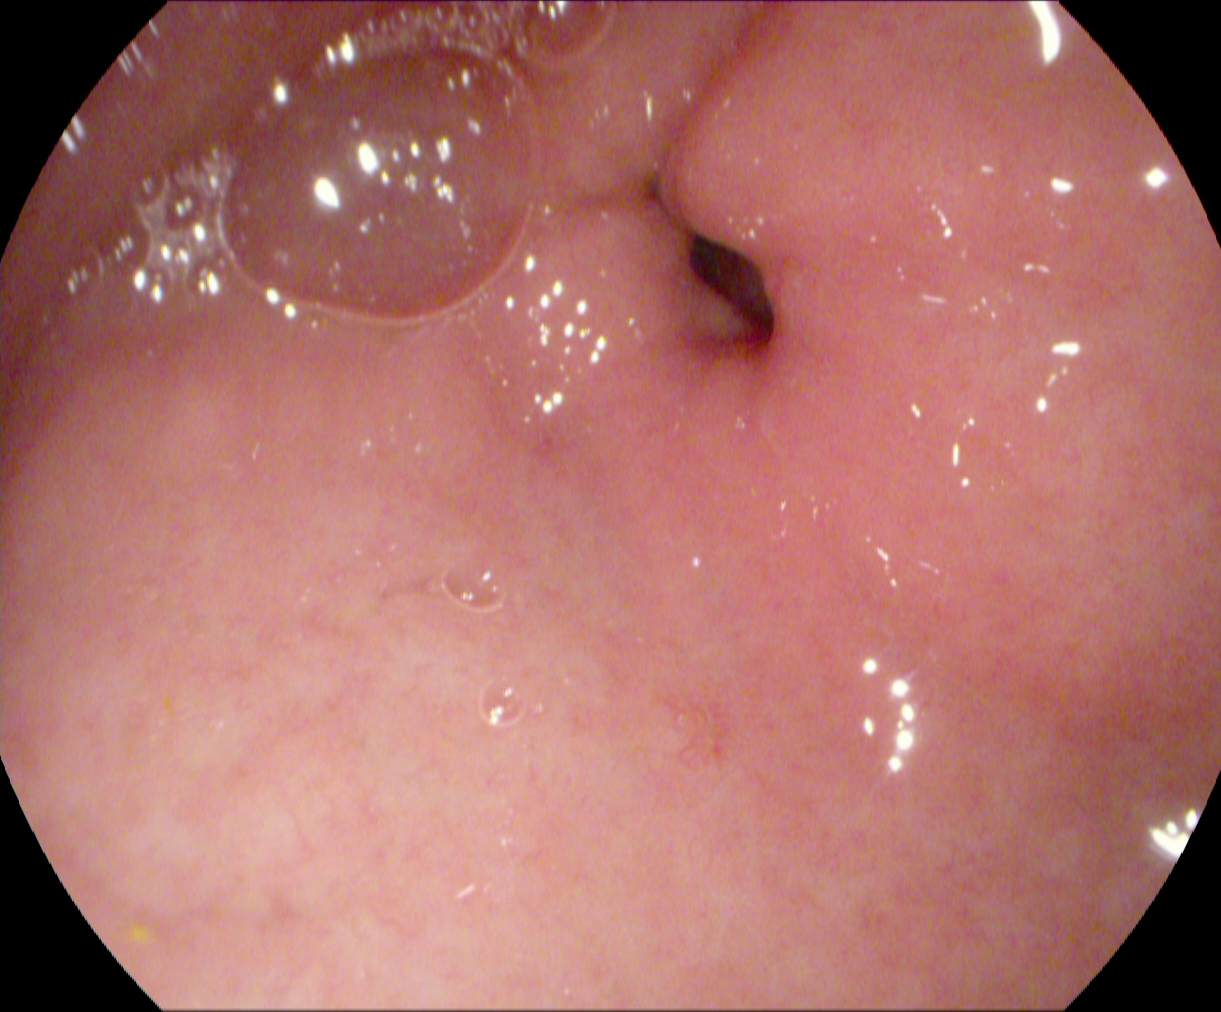Pylorus.